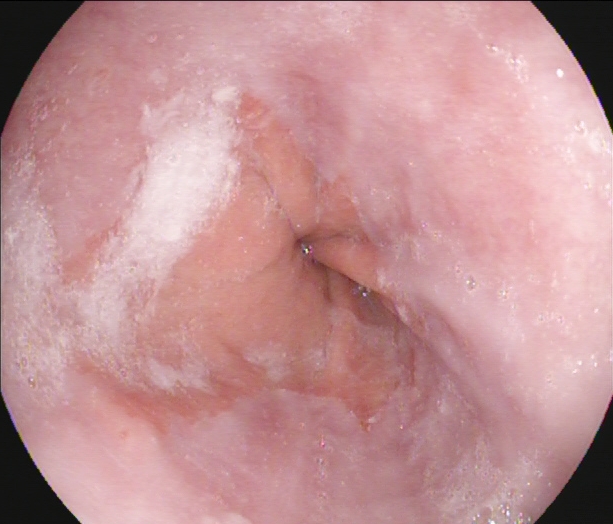Upper-GI endoscopy. Anatomical landmark. Finding: Z-line (gastroesophageal junction).